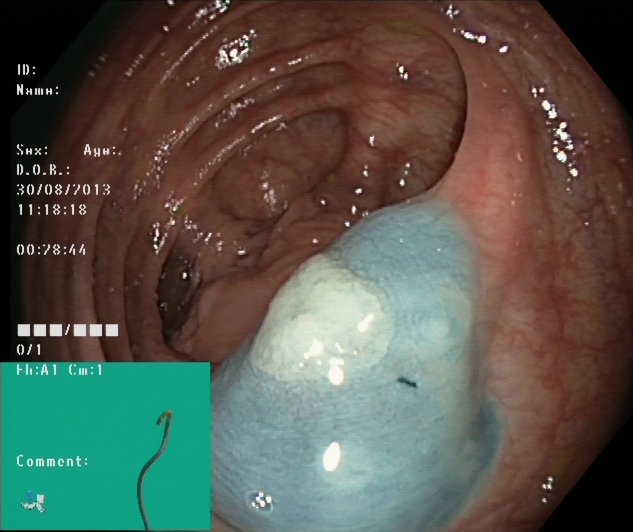Colonoscopy — dyed and lifted polyp (pre-resection).